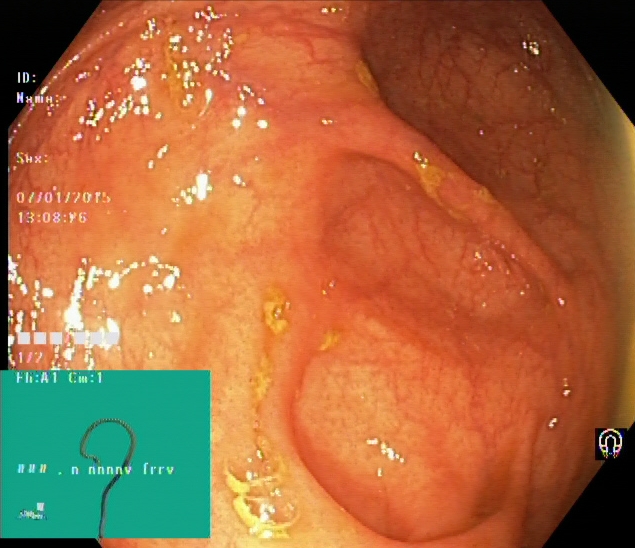Endoscopic frame showing cecum.